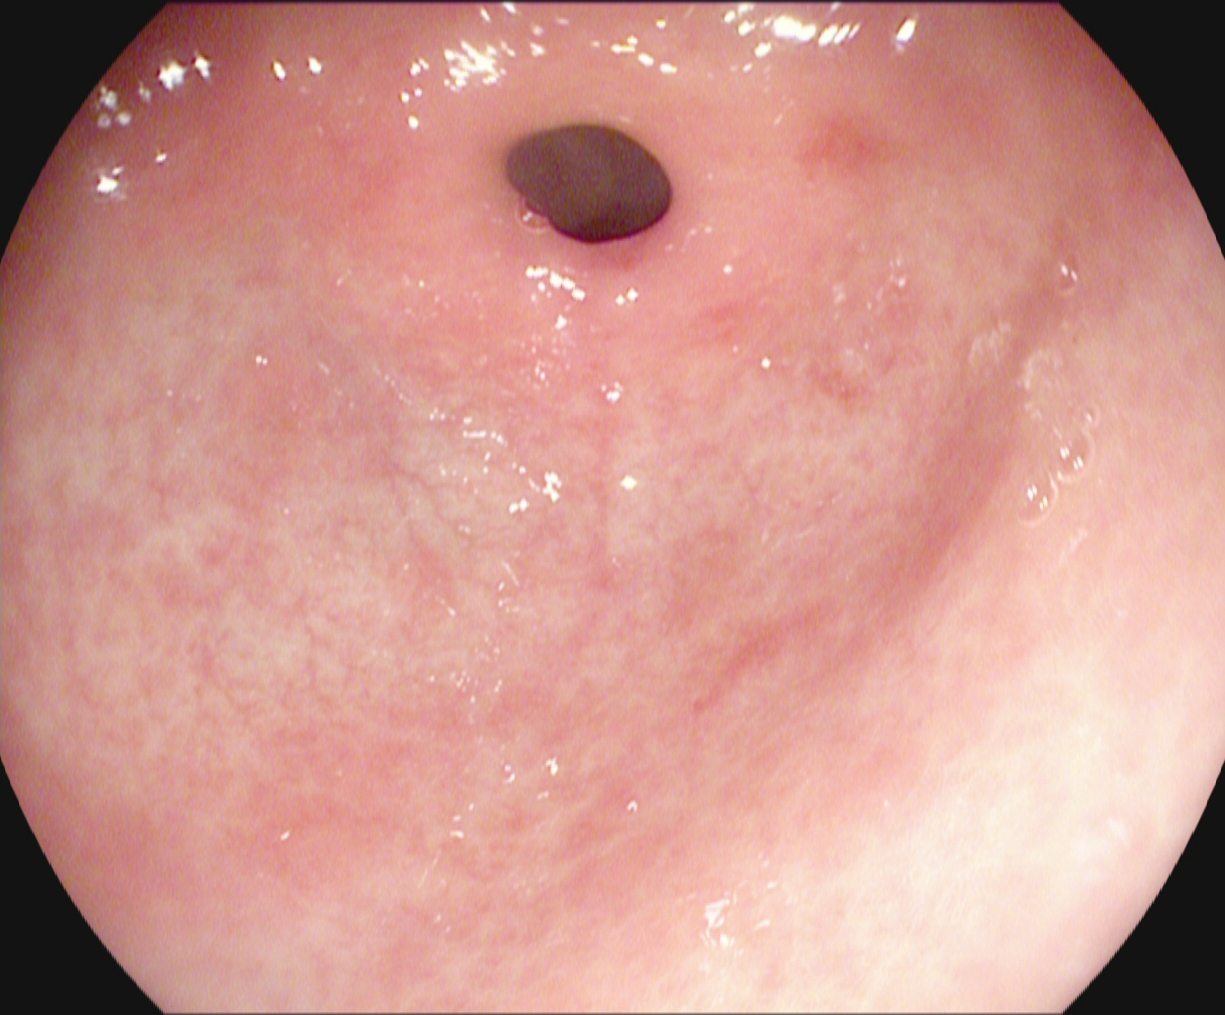{"modality": "esophagogastroduodenoscopy", "finding": "pylorus"}